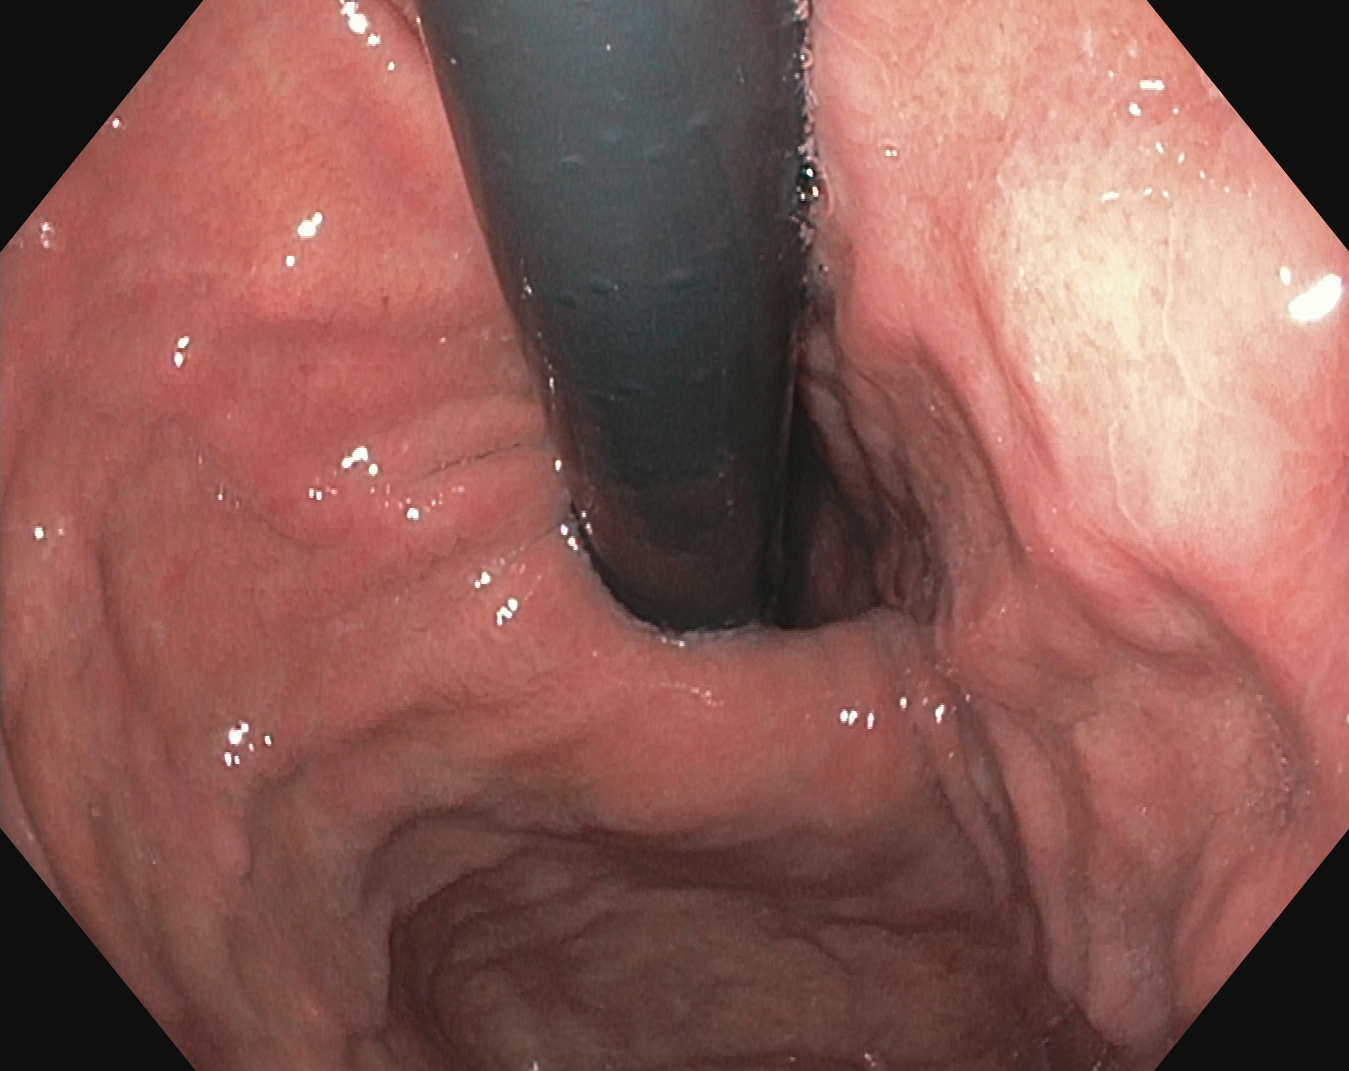PROCEDURE: Upper-GI endoscopy.
FINDINGS: Stomach in retroflexion.